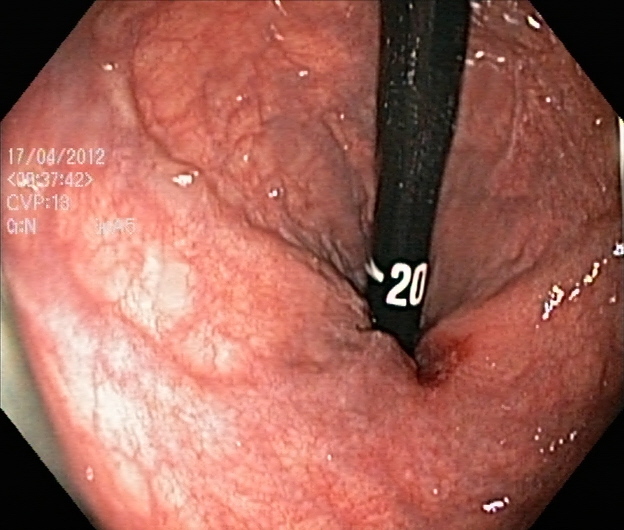Lower gastrointestinal endoscopy. Finding: rectum in retroflexion.